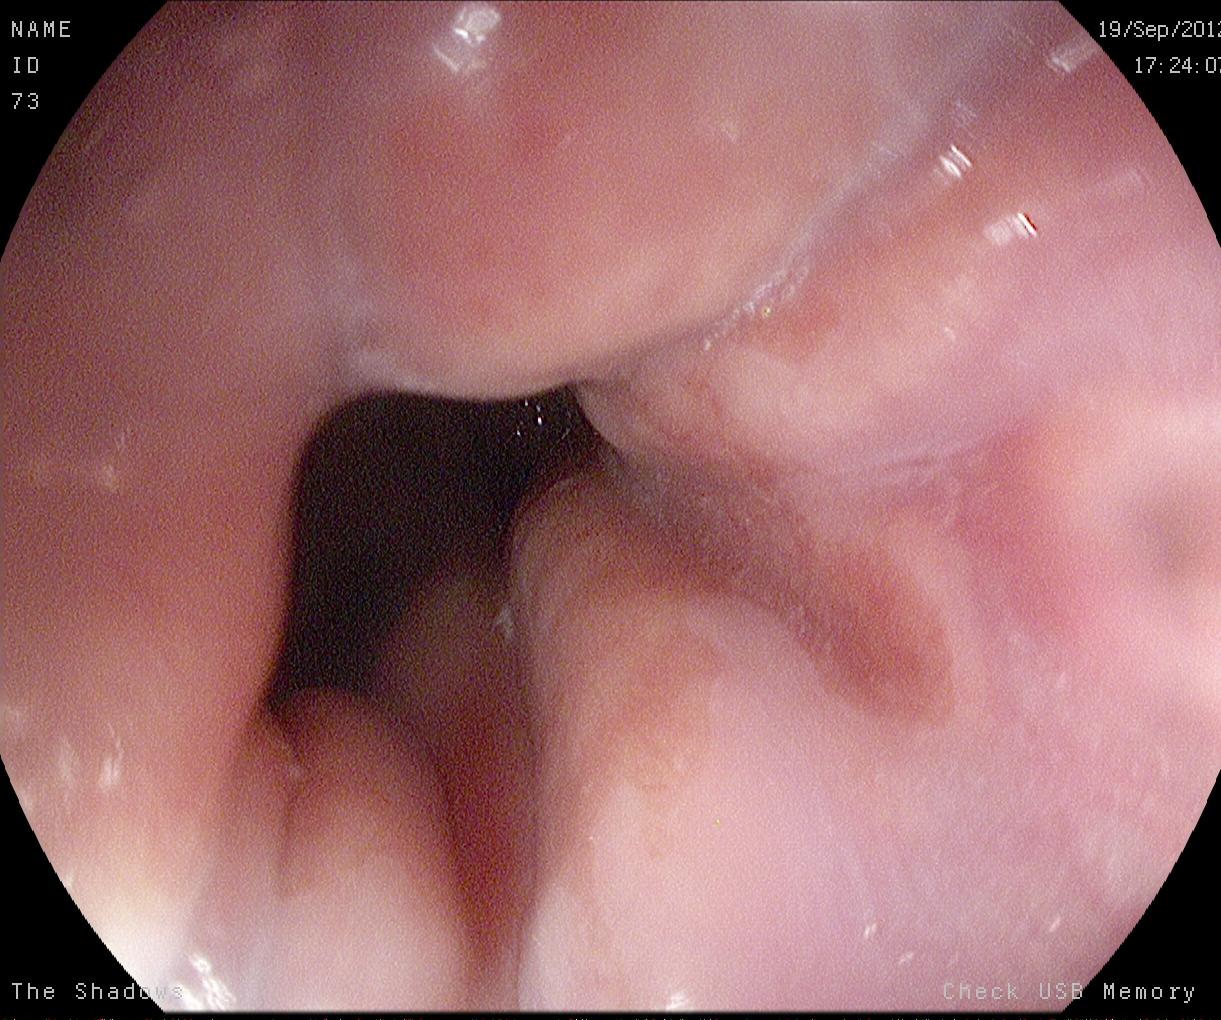GI endoscopy image of the upper GI tract showing Z-line (gastroesophageal junction).